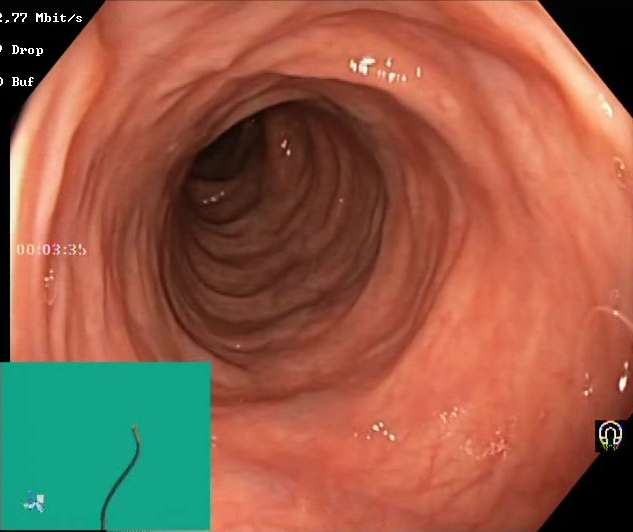modality: lower gastrointestinal endoscopy; category: mucosal-view quality; finding: Boston Bowel Preparation Scale score 2–3 (adequate preparation)